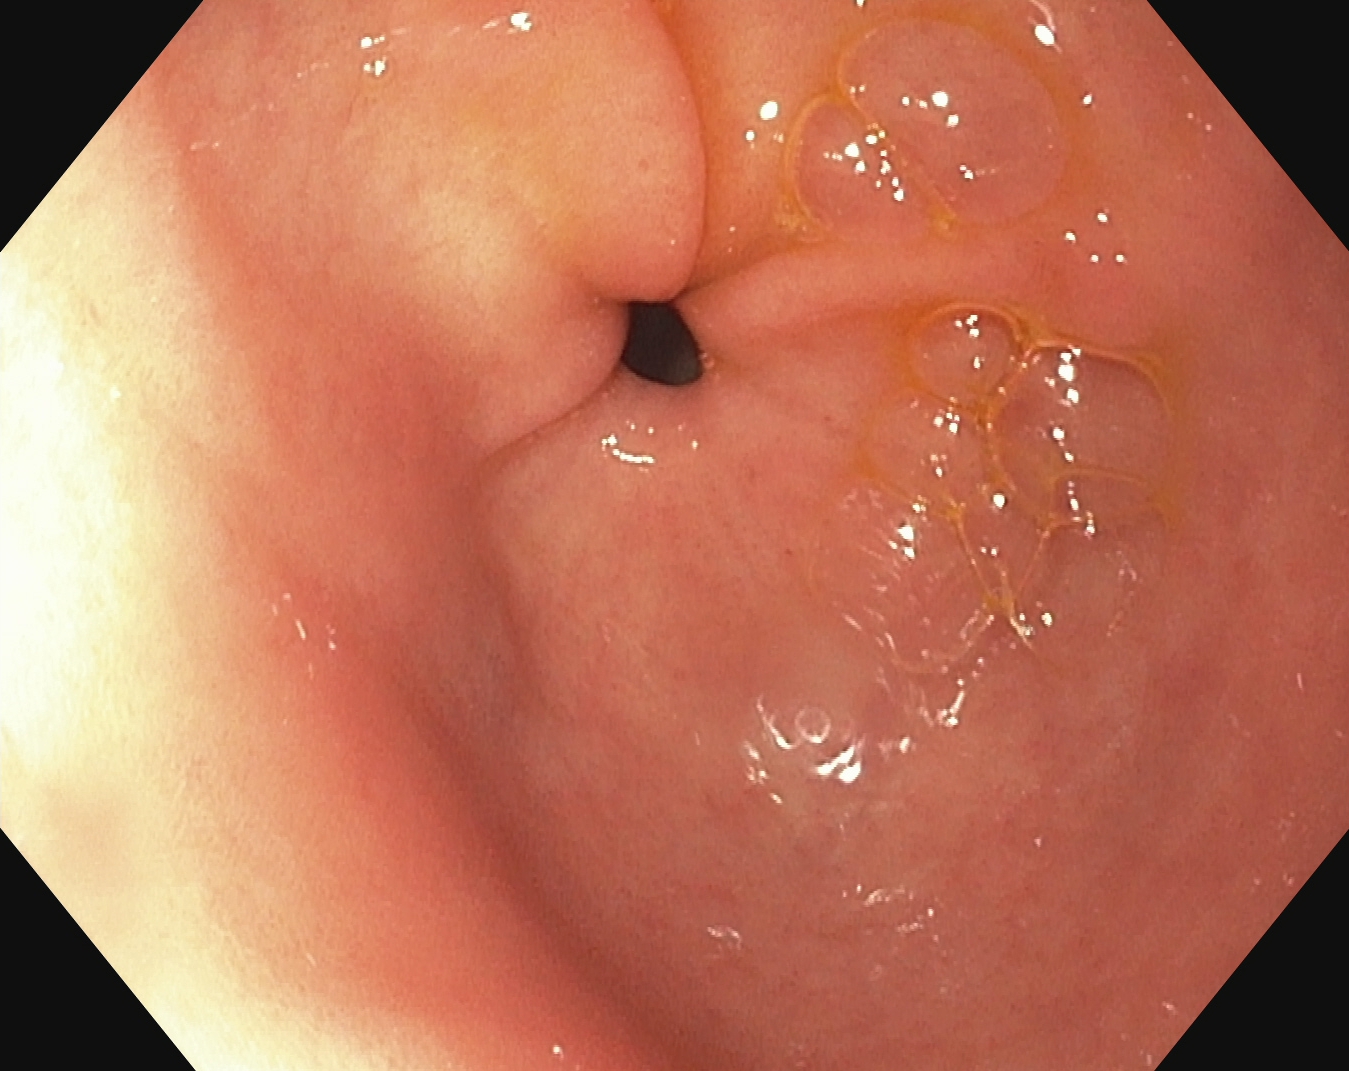Upper-GI endoscopy image showing pylorus.